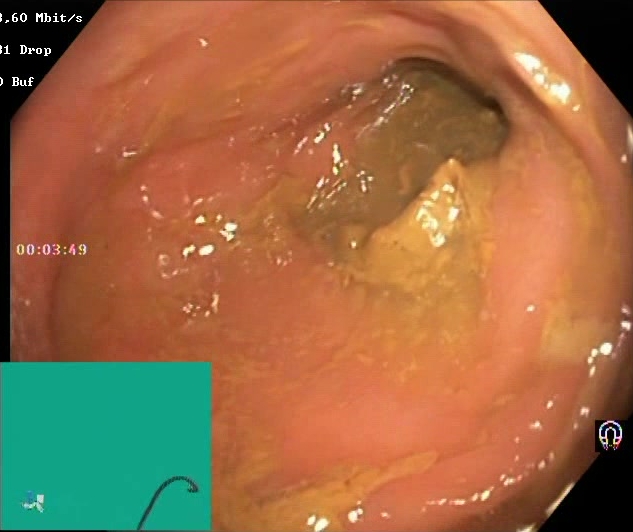modality: colonoscopy | tract: lower GI tract | finding: Boston Bowel Preparation Scale score 0–1 (inadequate preparation)